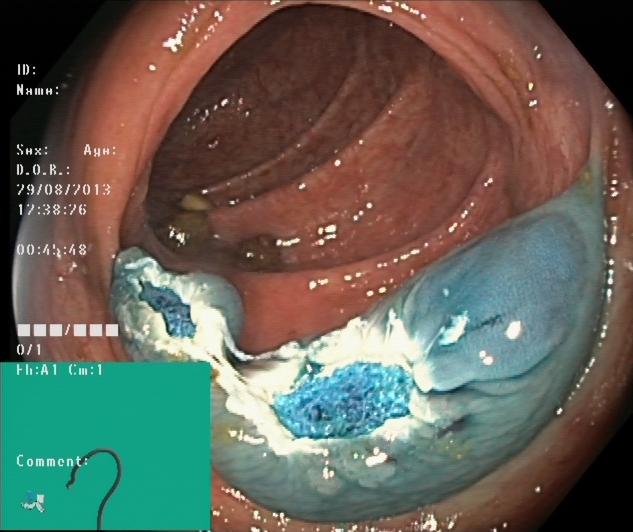modality: lower gastrointestinal endoscopy | tract: lower GI tract | finding: dyed resection margins (post-polypectomy)